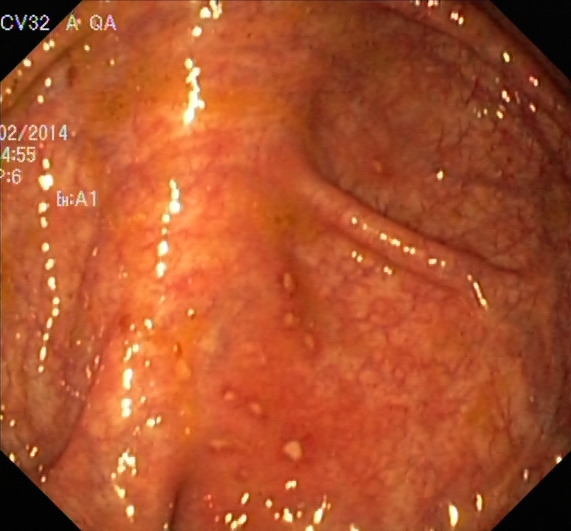UC, Mayo endoscopic subscore 1.